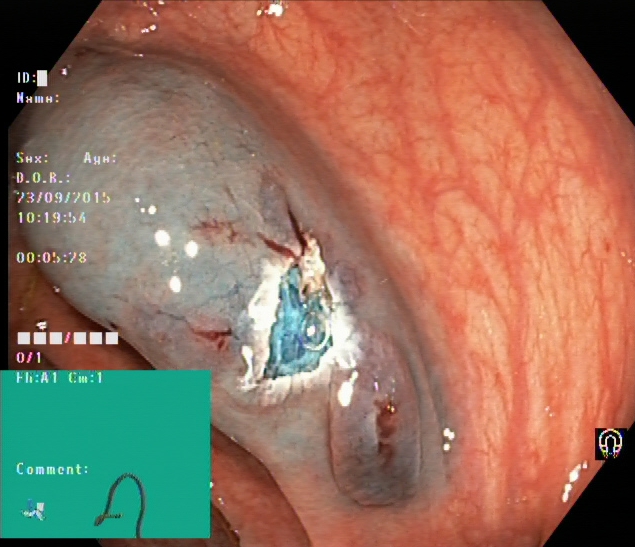This endoscopic image of the lower GI tract shows dyed resection margins (post-polypectomy).